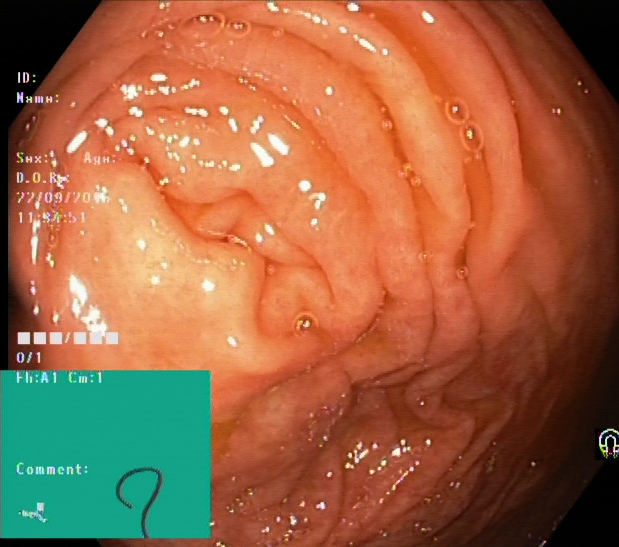Endoscopic image of the lower GI tract showing cecum.